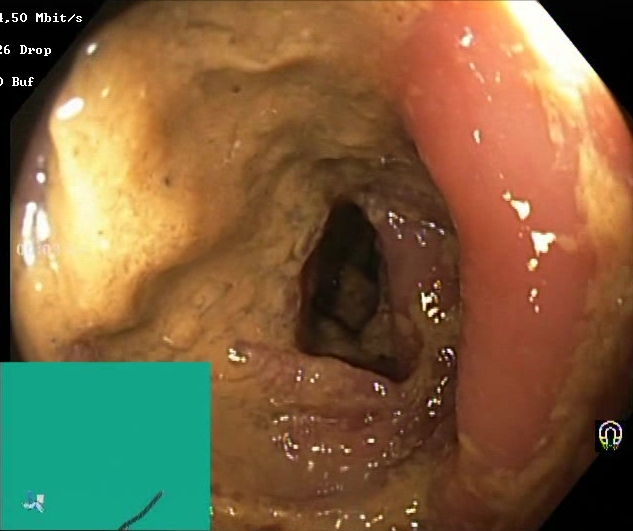PROCEDURE: Colonoscopy.
FINDINGS: BBPS score 0–1 (inadequate preparation).